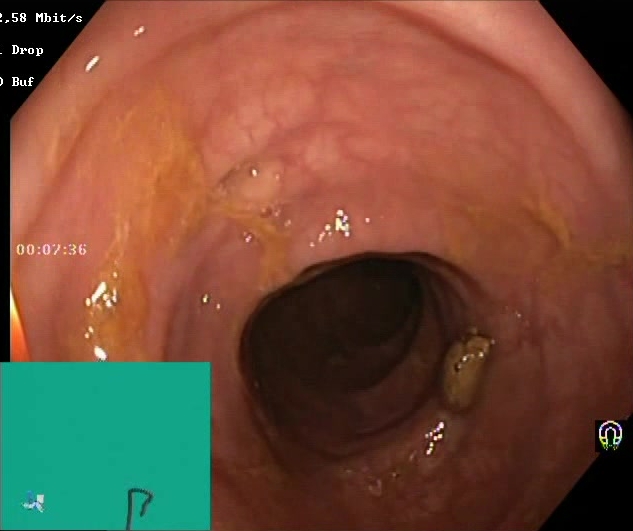Lower gastrointestinal endoscopy. Finding: Boston Bowel Preparation Scale score 2–3 (adequate preparation).